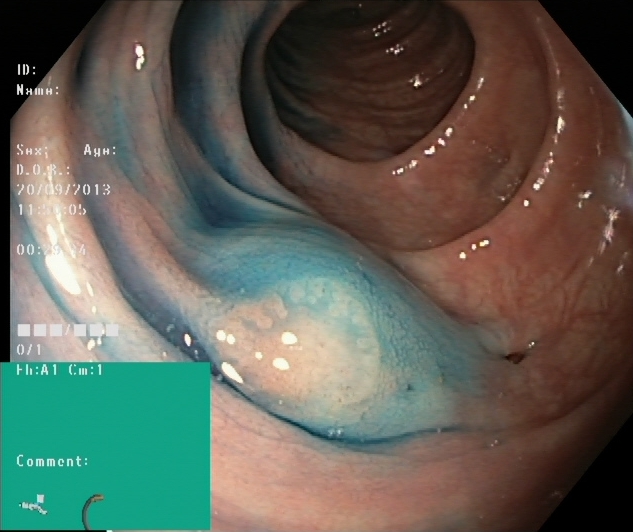Colonoscopy — dyed and lifted polyp (pre-resection).